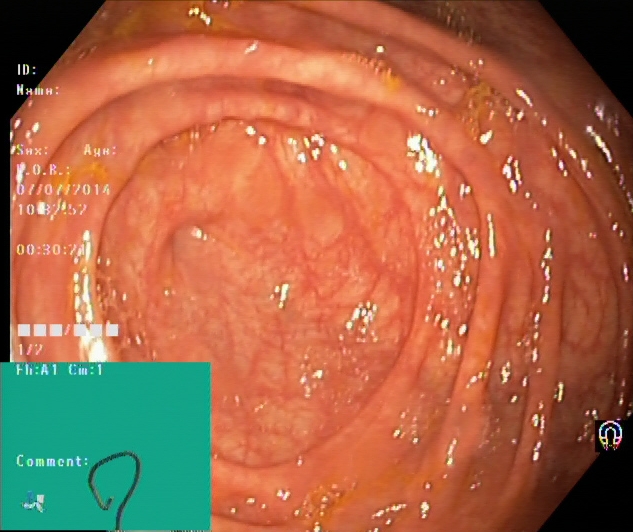Lower gastrointestinal endoscopy — cecum.